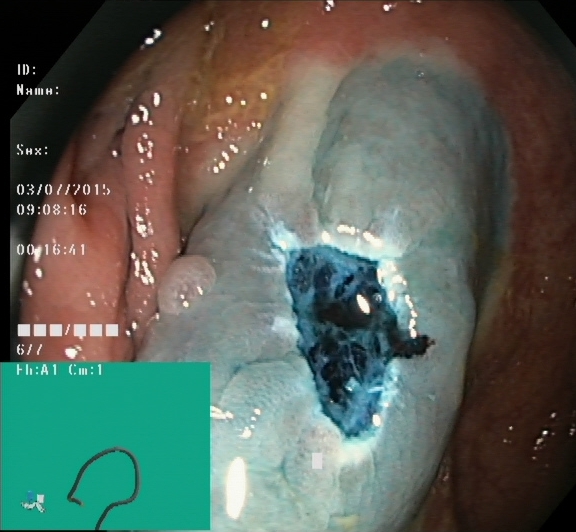modality: lower gastrointestinal endoscopy; tract: lower GI tract; finding: dyed resection margins (post-polypectomy)